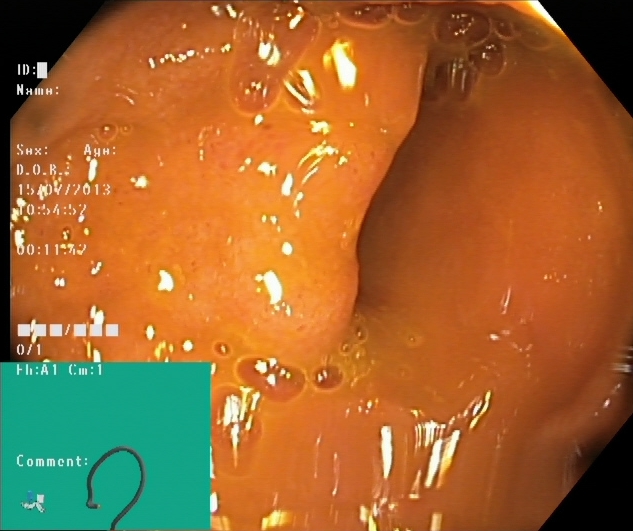Lower gastrointestinal endoscopy. Tract: lower GI tract. Anatomical landmark. Finding: cecum.